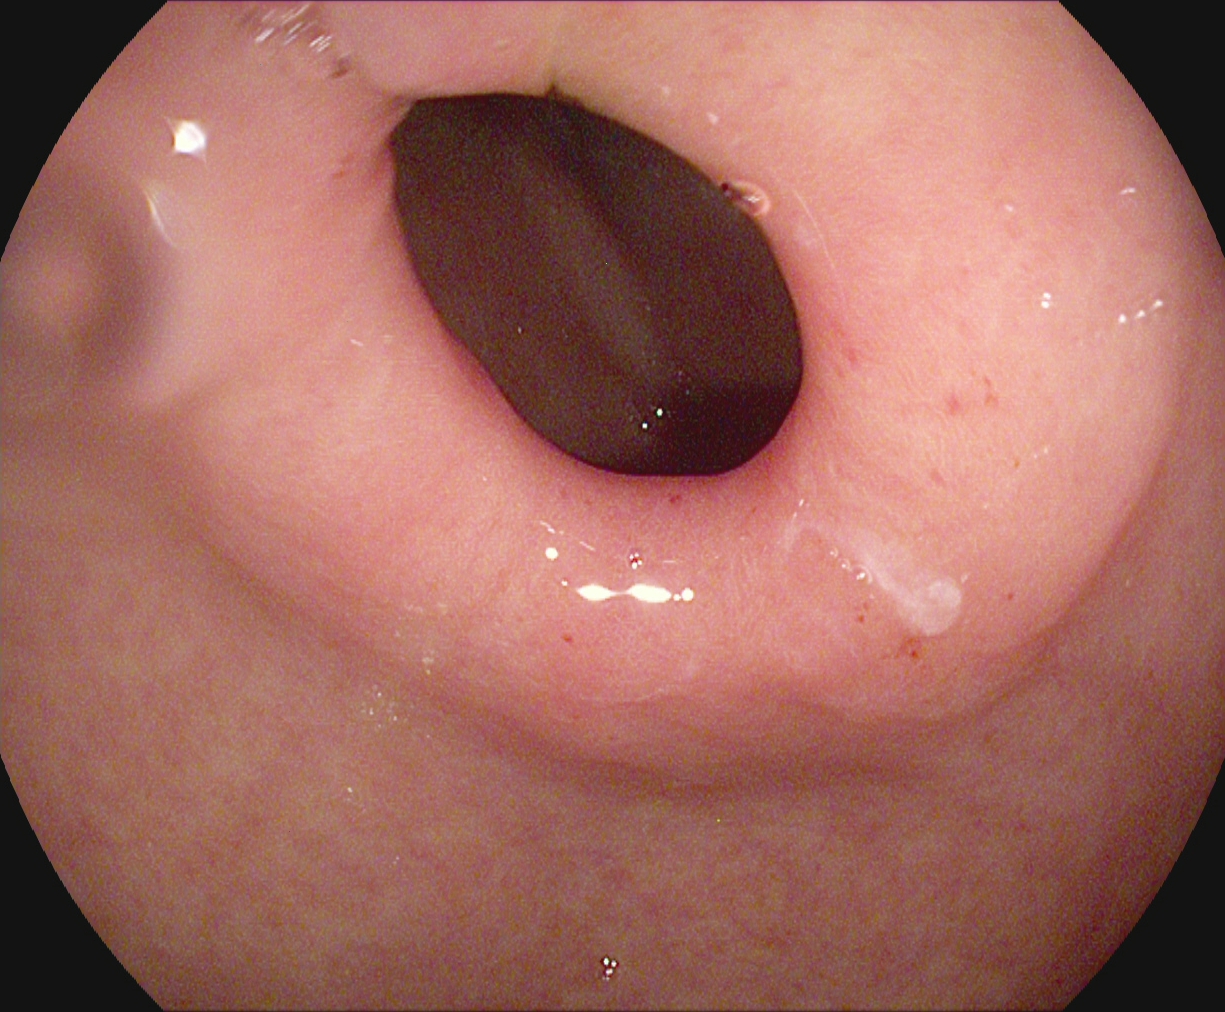Endoscopic frame of the upper GI tract showing pylorus.